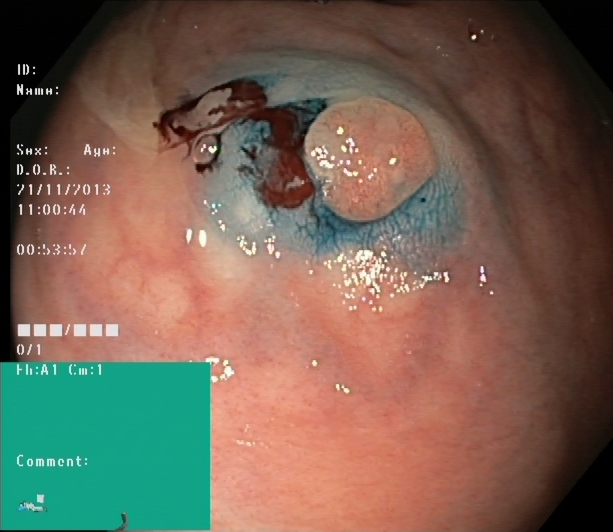Colonoscopy — dyed and lifted polyp (pre-resection).